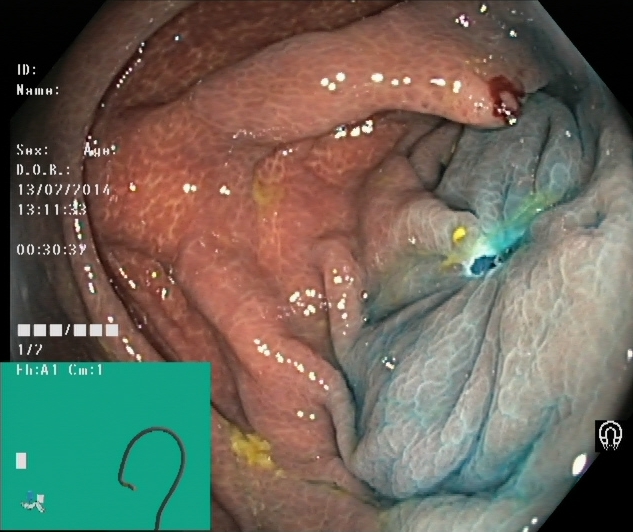modality: lower gastrointestinal endoscopy; finding: dyed resection margins (post-polypectomy)